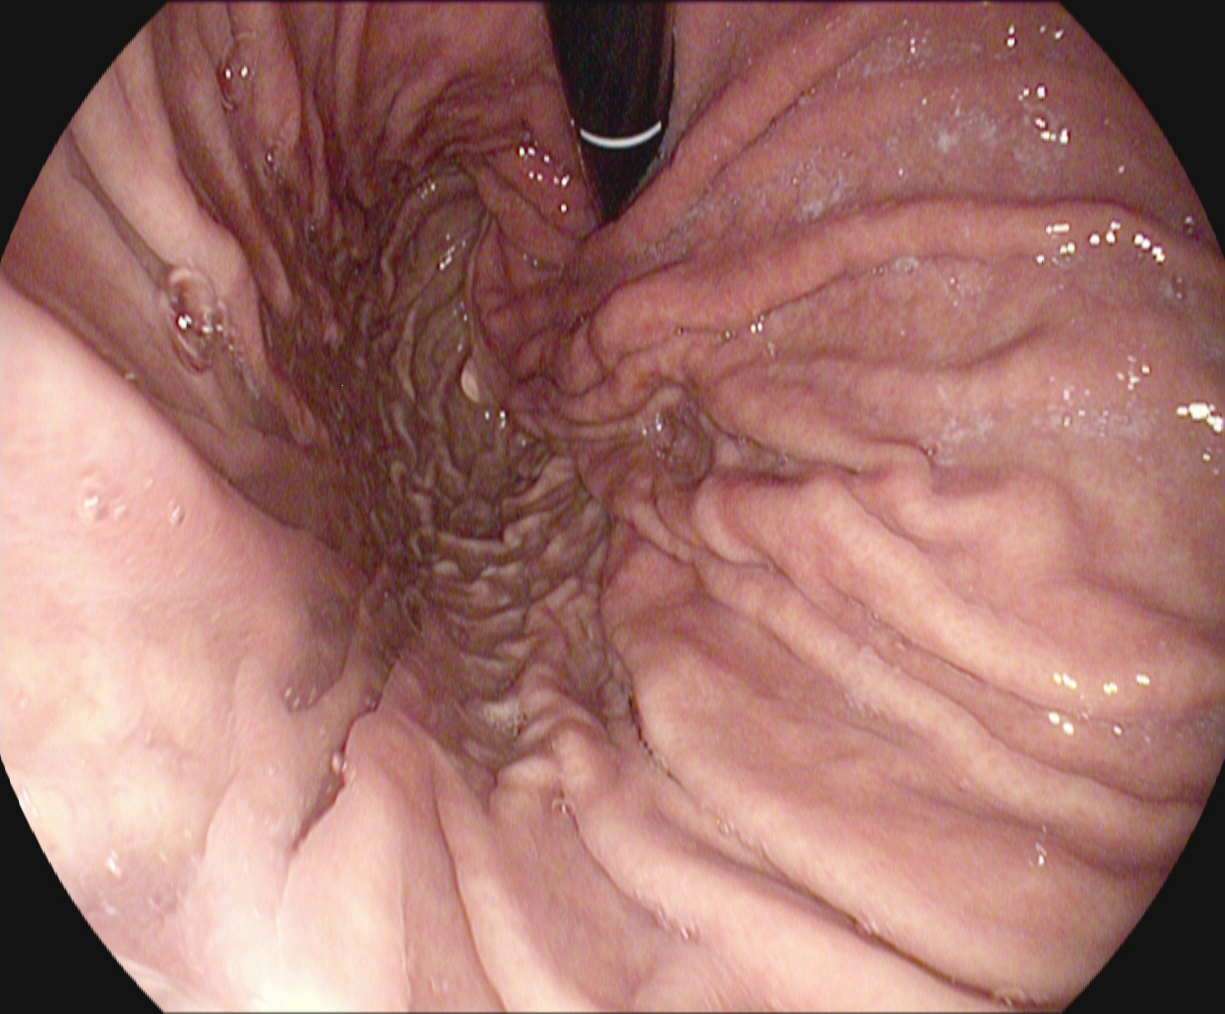Stomach in retroflexion.